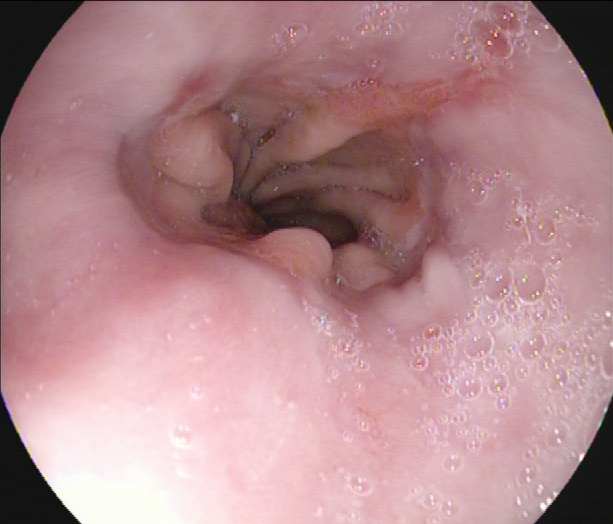PROCEDURE: EGD.
FINDINGS: Reflux esophagitis, Los Angeles grade A.